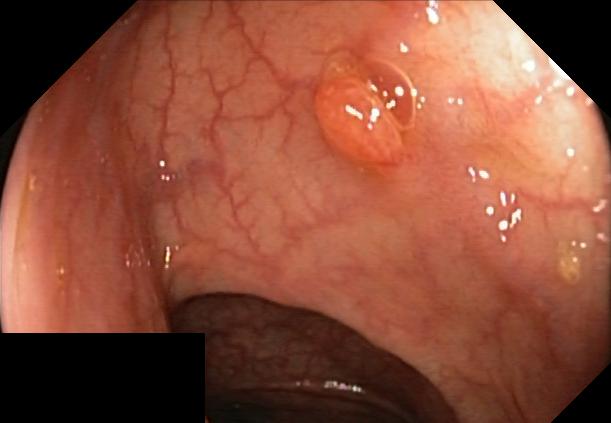This endoscopy frame of the lower GI tract shows colorectal polyp(s).